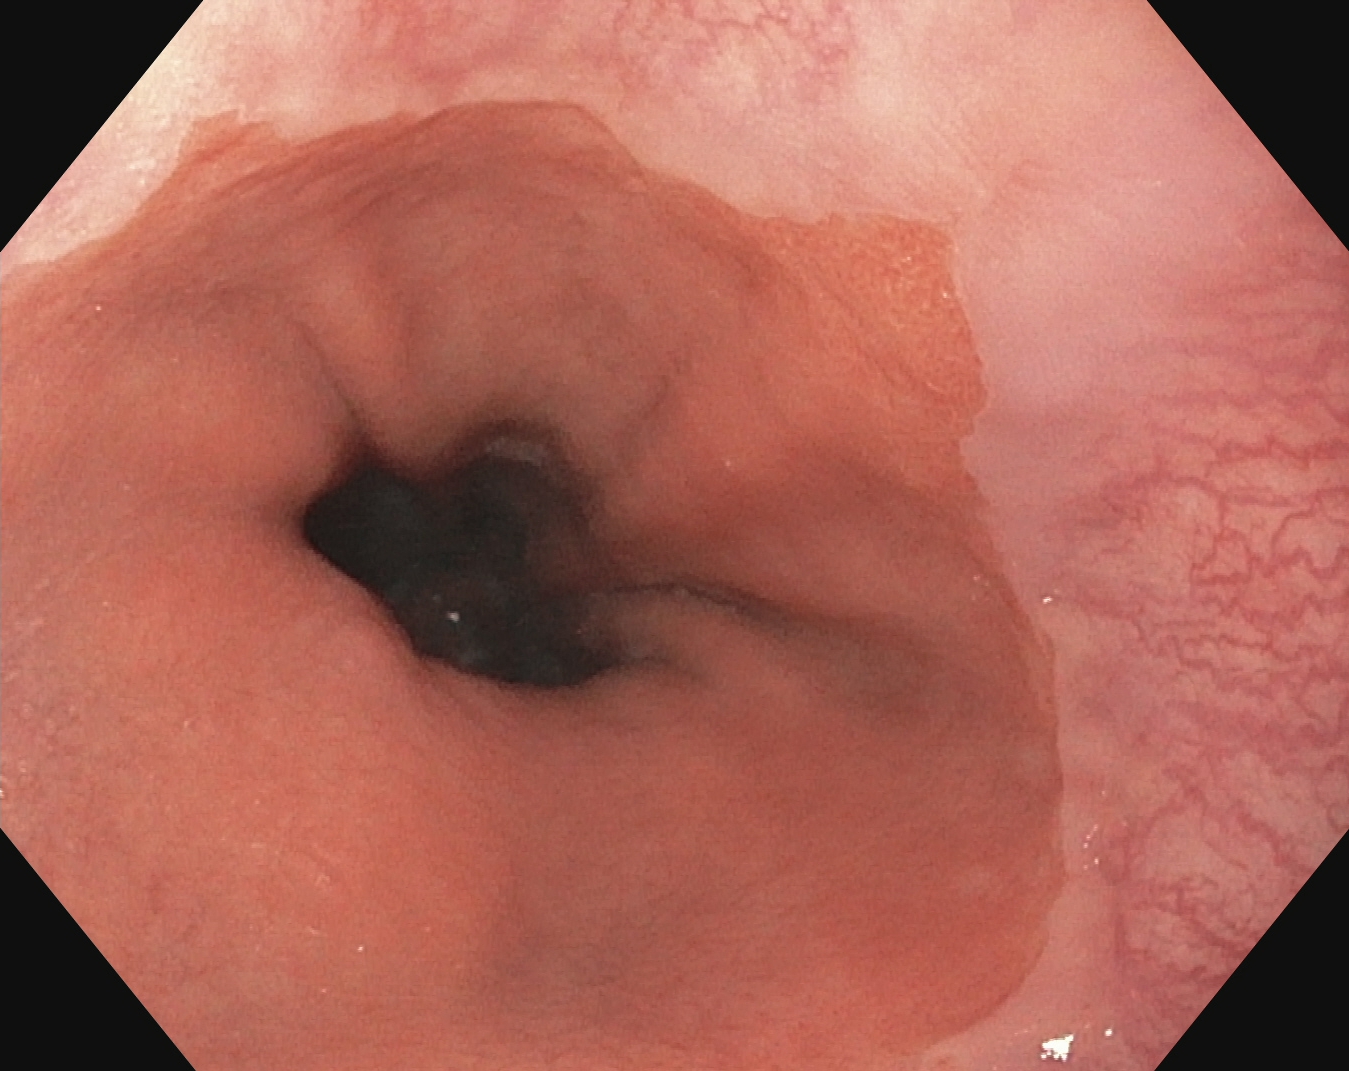Endoscopy image of the upper GI tract showing Barrett's esophagus, short segment.